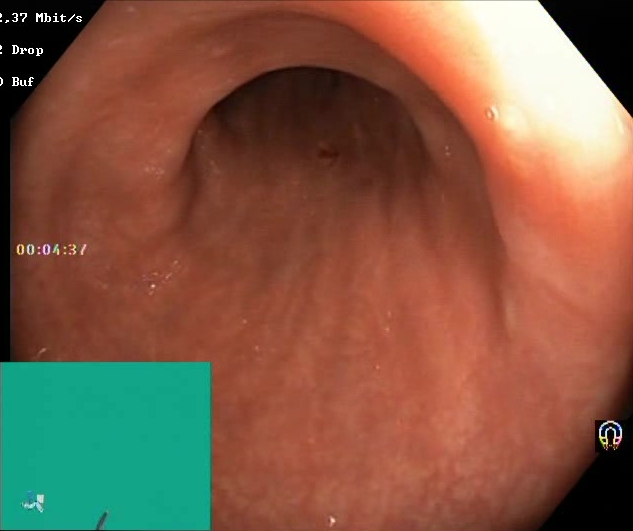Colonoscopy. Tract: lower GI tract. Mucosal-view quality. Finding: Boston Bowel Preparation Scale score 2–3 (adequate preparation).